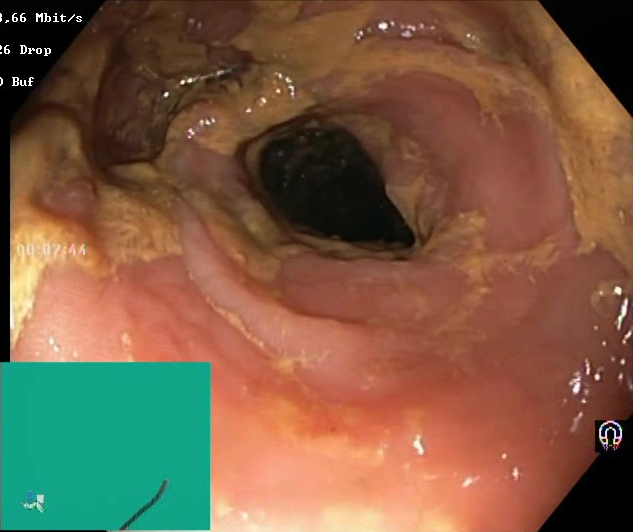Endoscopic image showing BBPS score 0–1 (inadequate preparation).